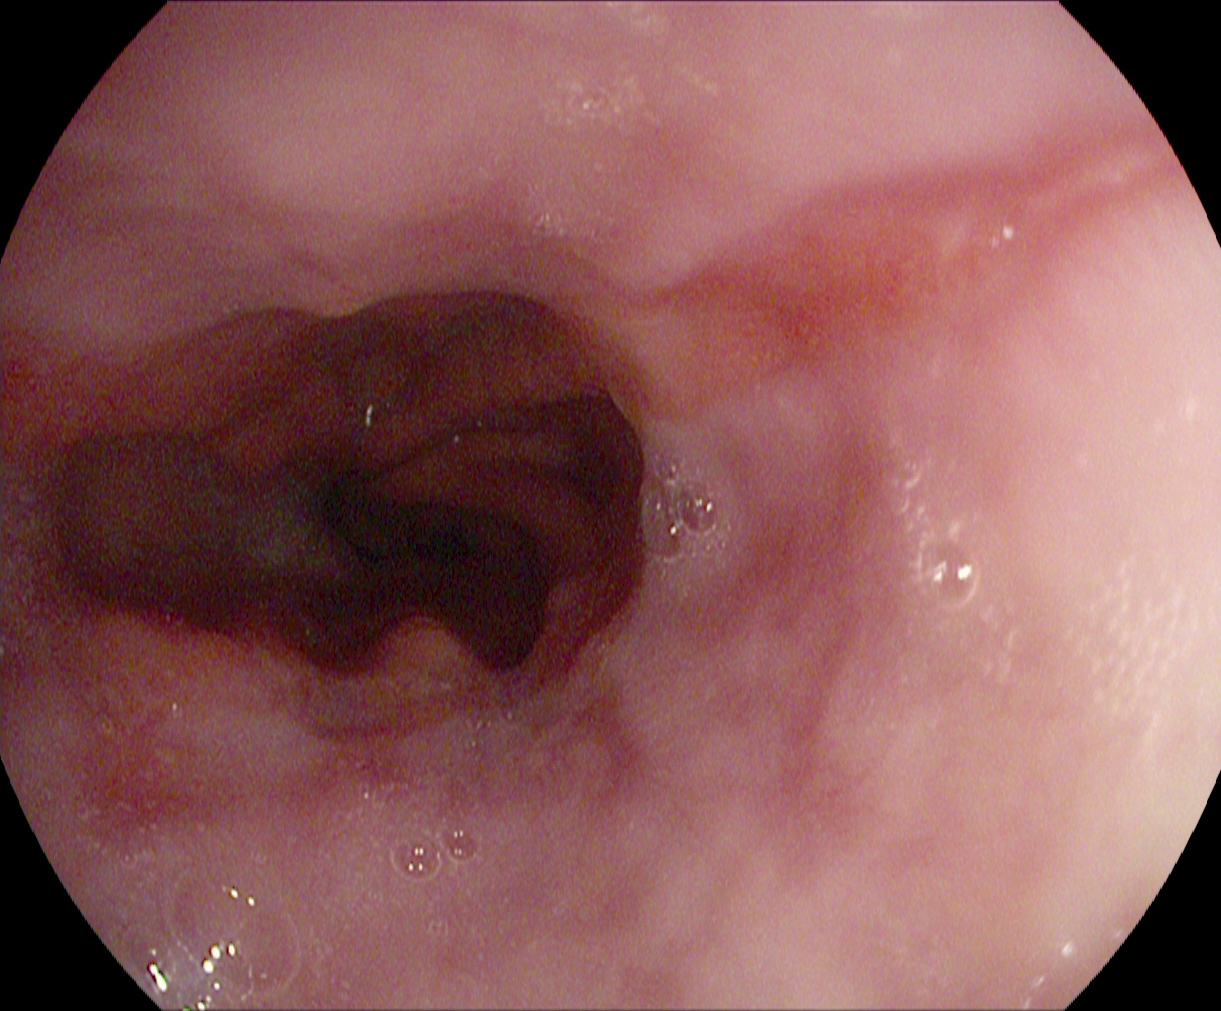This endoscopic image shows reflux esophagitis, Los Angeles grade A.